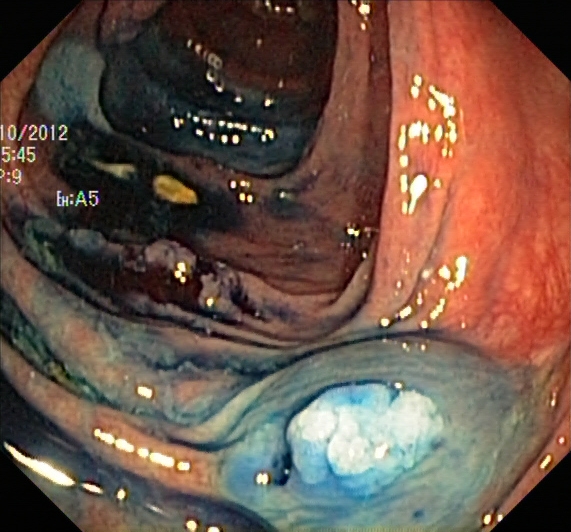dyed and lifted polyp (pre-resection).